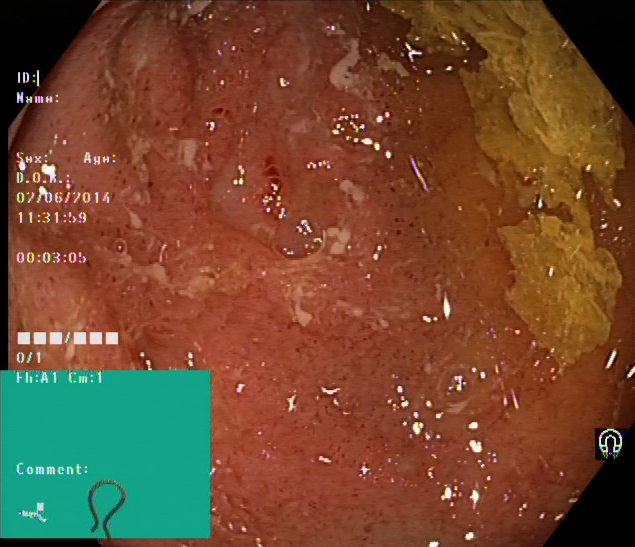Ulcerative colitis, Mayo endoscopic subscore 2.